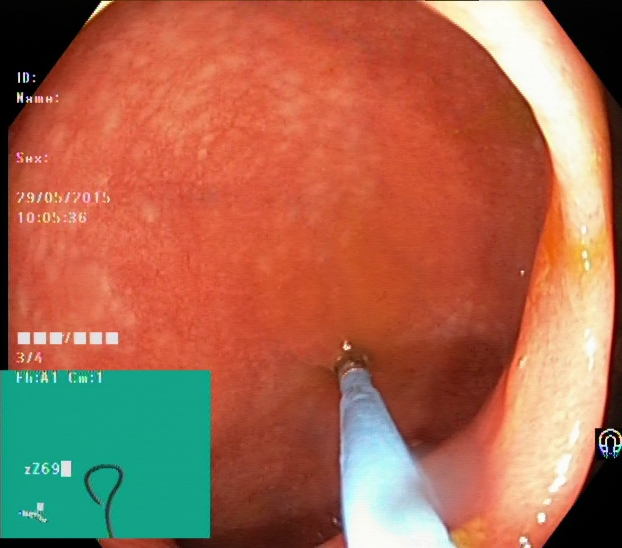modality: lower gastrointestinal endoscopy; category: pathological finding; finding: UC, Mayo endoscopic subscore 1